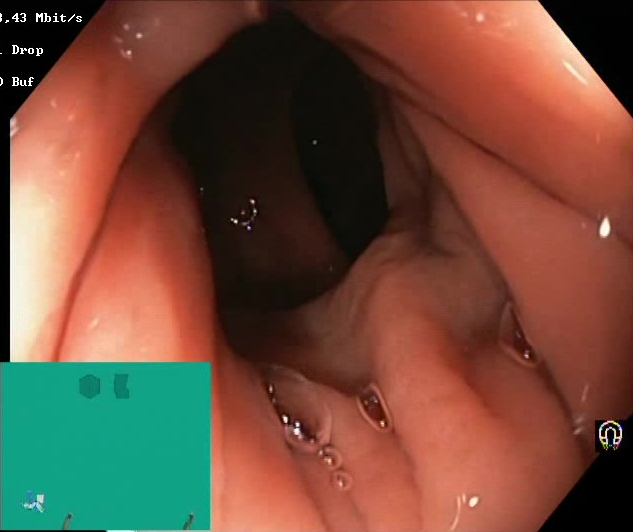This endoscopy frame of the lower GI tract shows Boston Bowel Preparation Scale score 2–3 (adequate preparation).